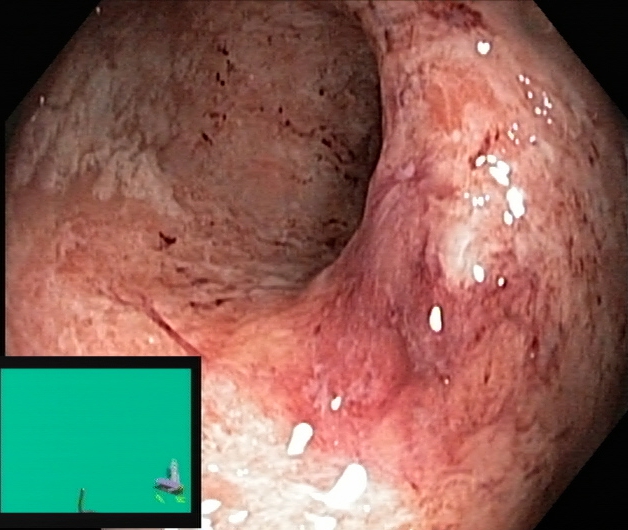Lower-GI endoscopy image of the lower GI tract showing ulcerative colitis, Mayo endoscopic subscore 2.